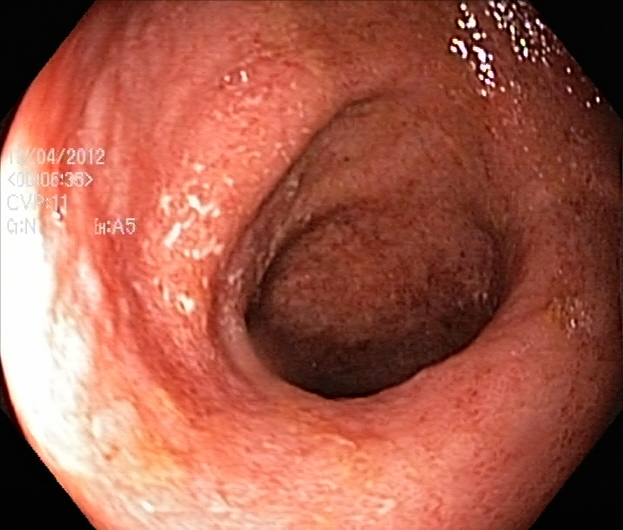{"modality": "lower-GI endoscopy", "tract": "lower GI tract", "category": "pathological finding", "finding": "ulcerative colitis, Mayo endoscopic subscore 2"}